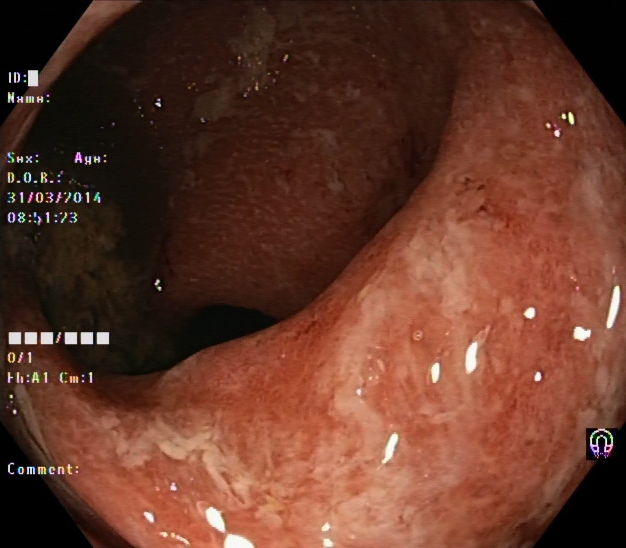This endoscopic image of the lower GI tract shows UC, Mayo endoscopic subscore 2–3.